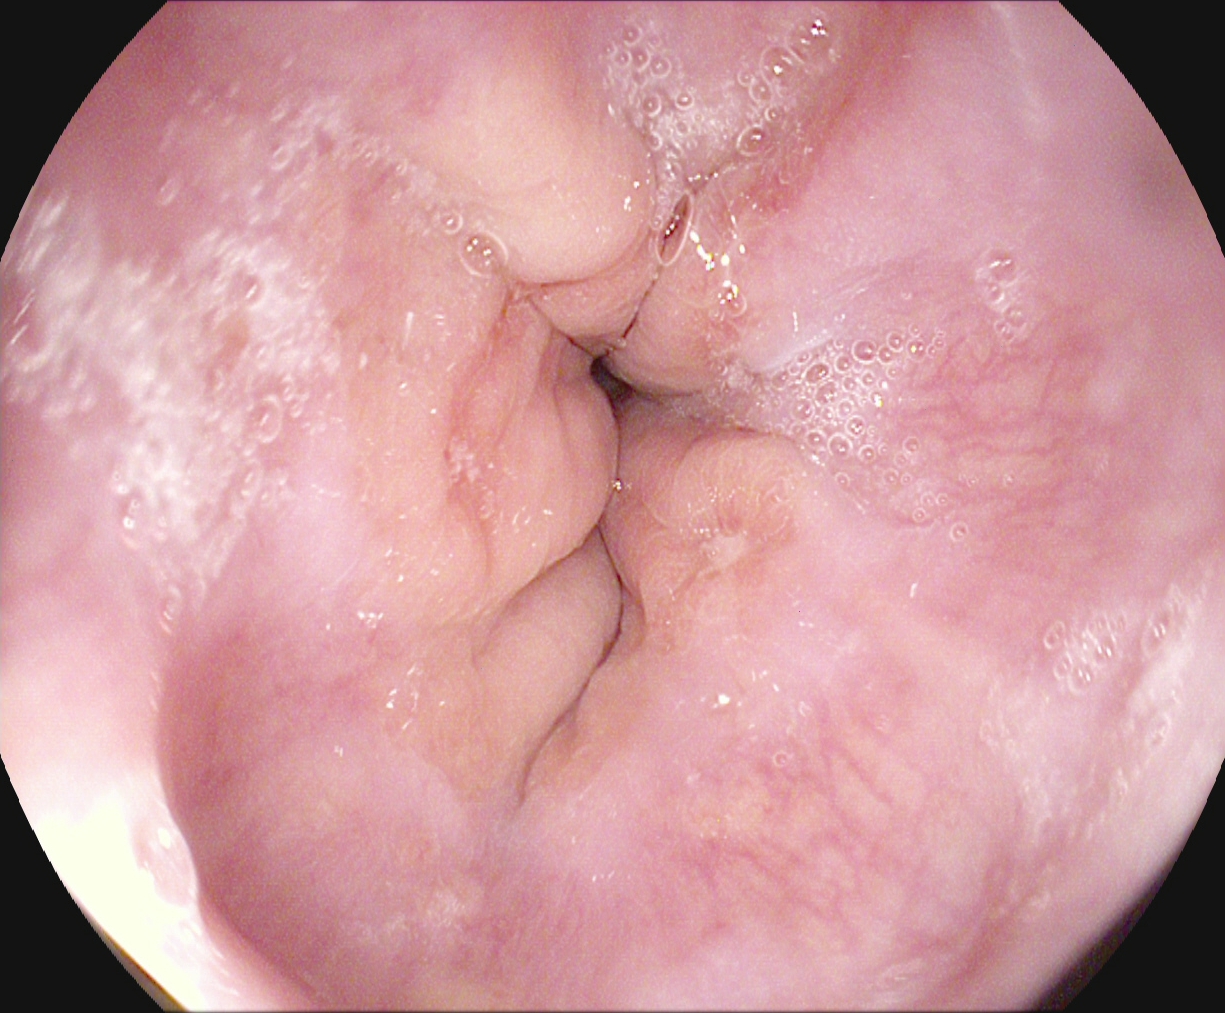Reflux esophagitis, Los Angeles grade A.